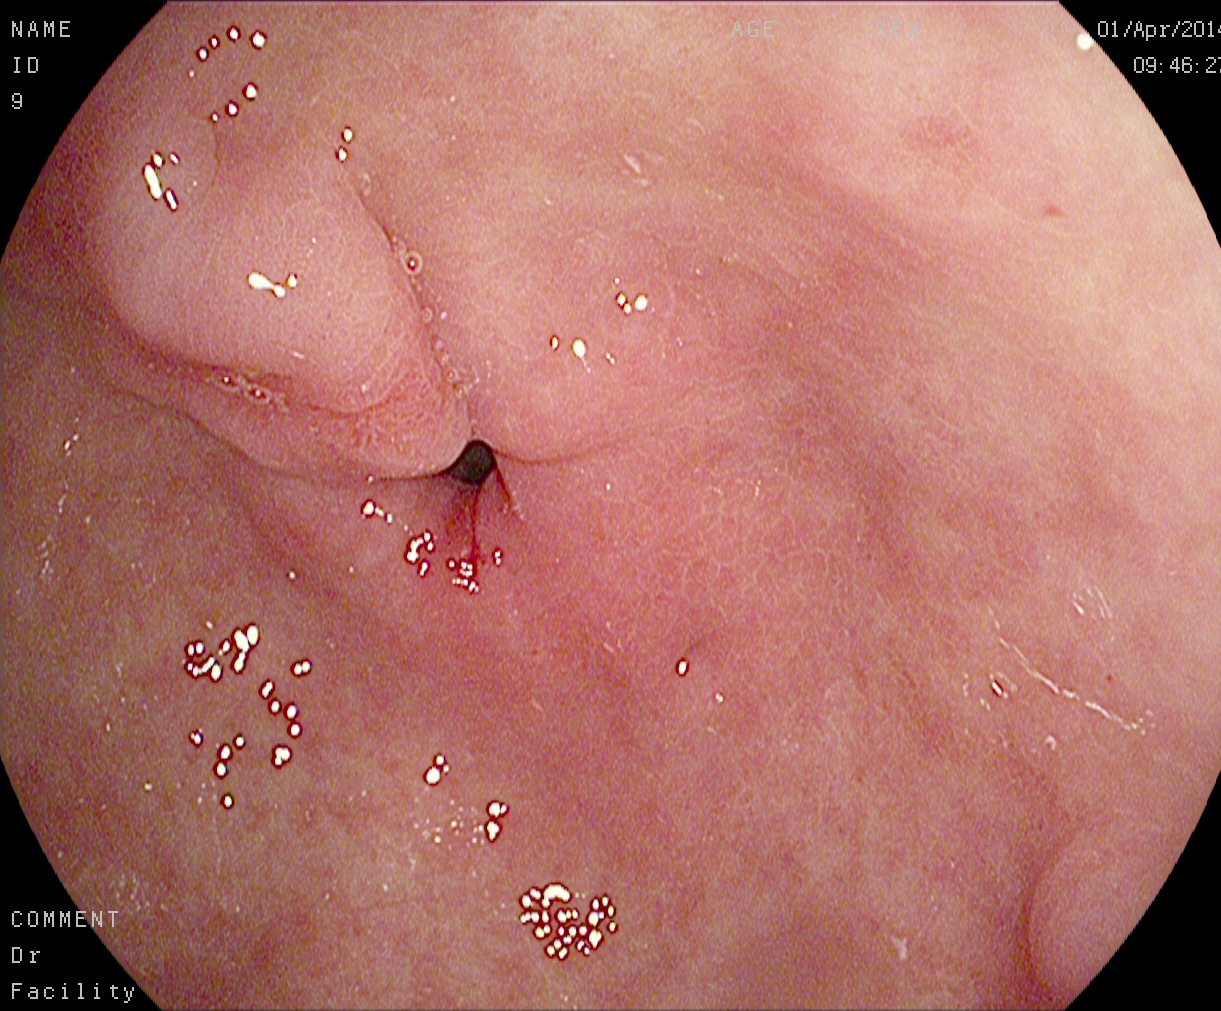Gastroscopy. Tract: upper GI tract. Anatomical landmark. Finding: pylorus.